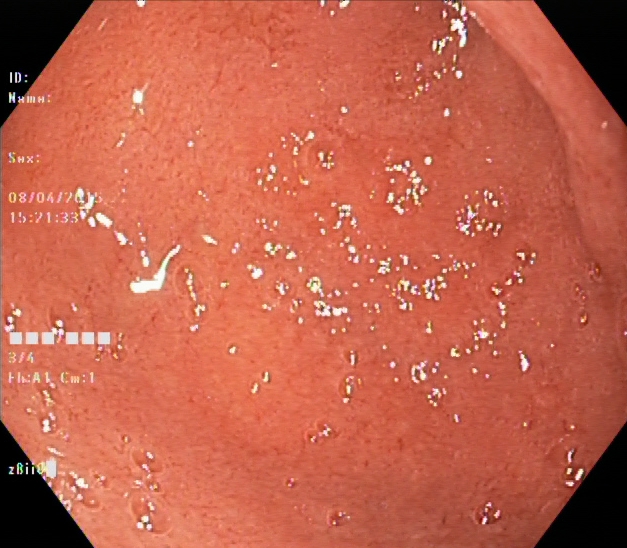{"modality": "lower-GI endoscopy", "tract": "lower GI tract", "finding": "ulcerative colitis, Mayo endoscopic subscore 2"}